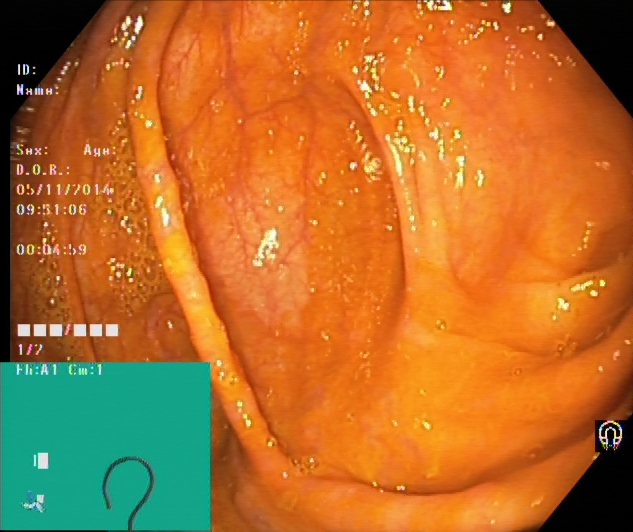Endoscopic image showing cecum.